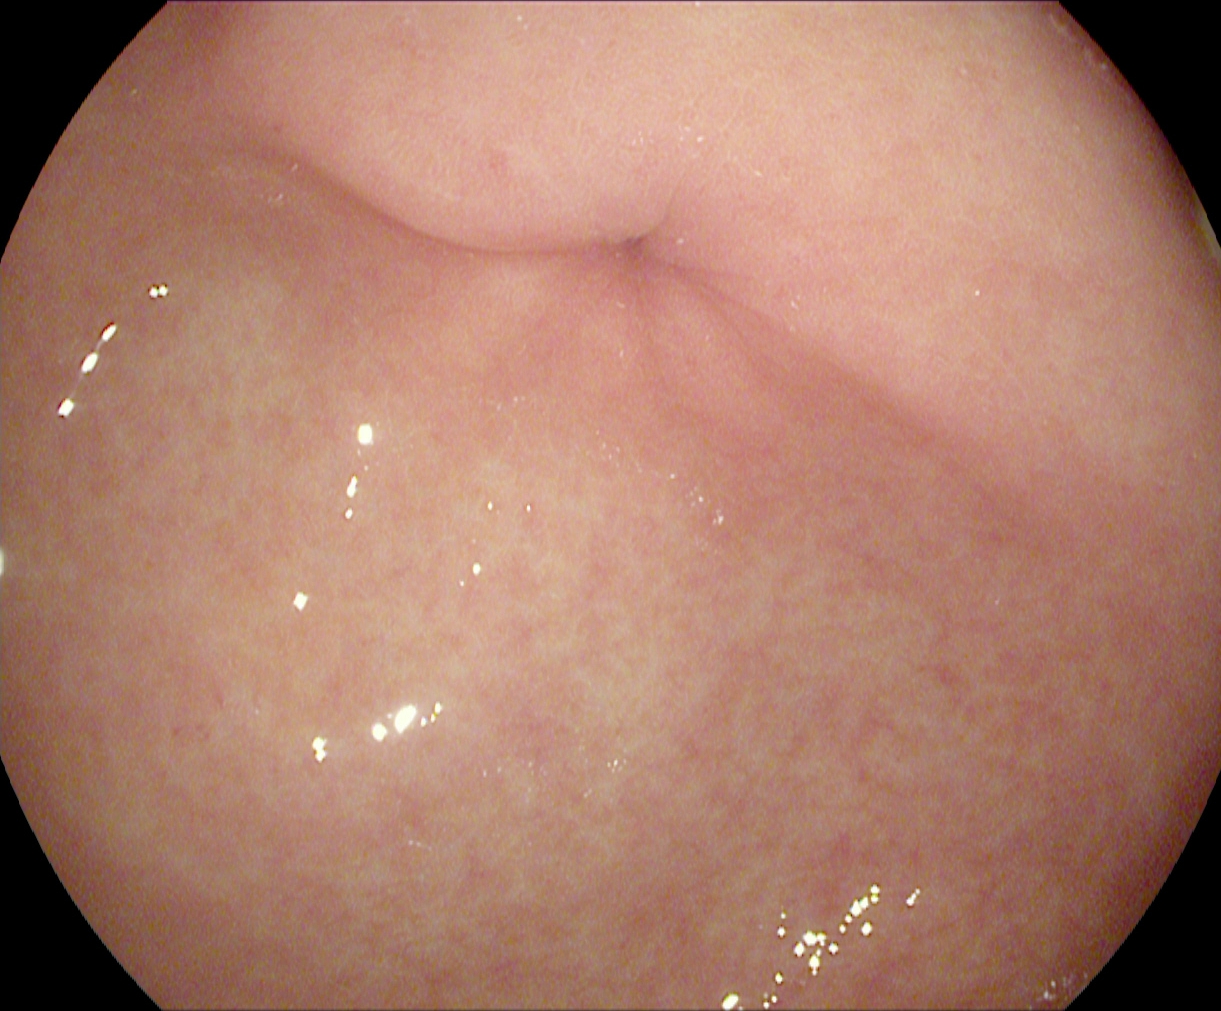Esophagogastroduodenoscopy — pylorus.